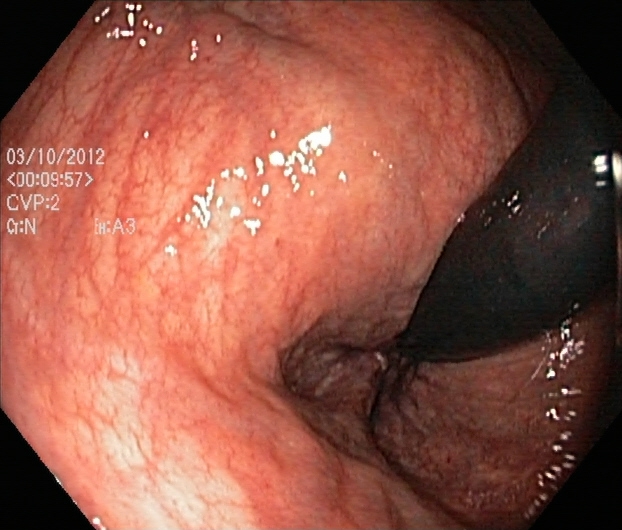This endoscopic image of the lower GI tract shows rectum in retroflexion.